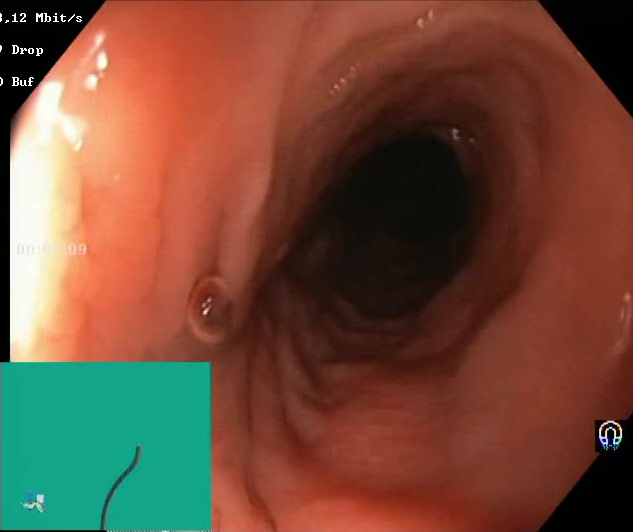Boston Bowel Preparation Scale score 2–3 (adequate preparation).